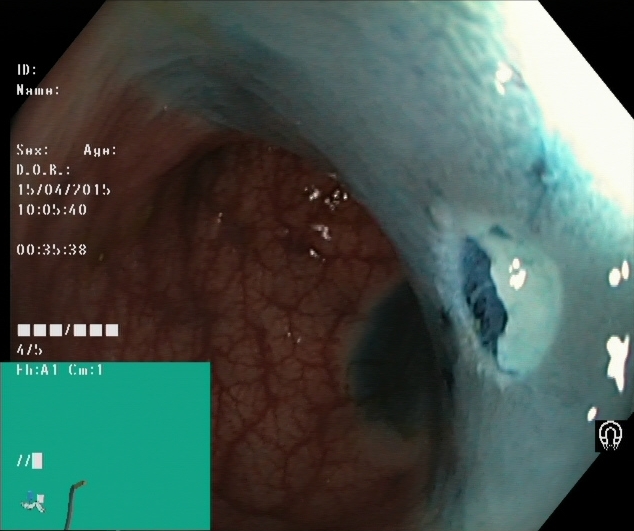This endoscopy frame shows dyed resection margins (post-polypectomy).